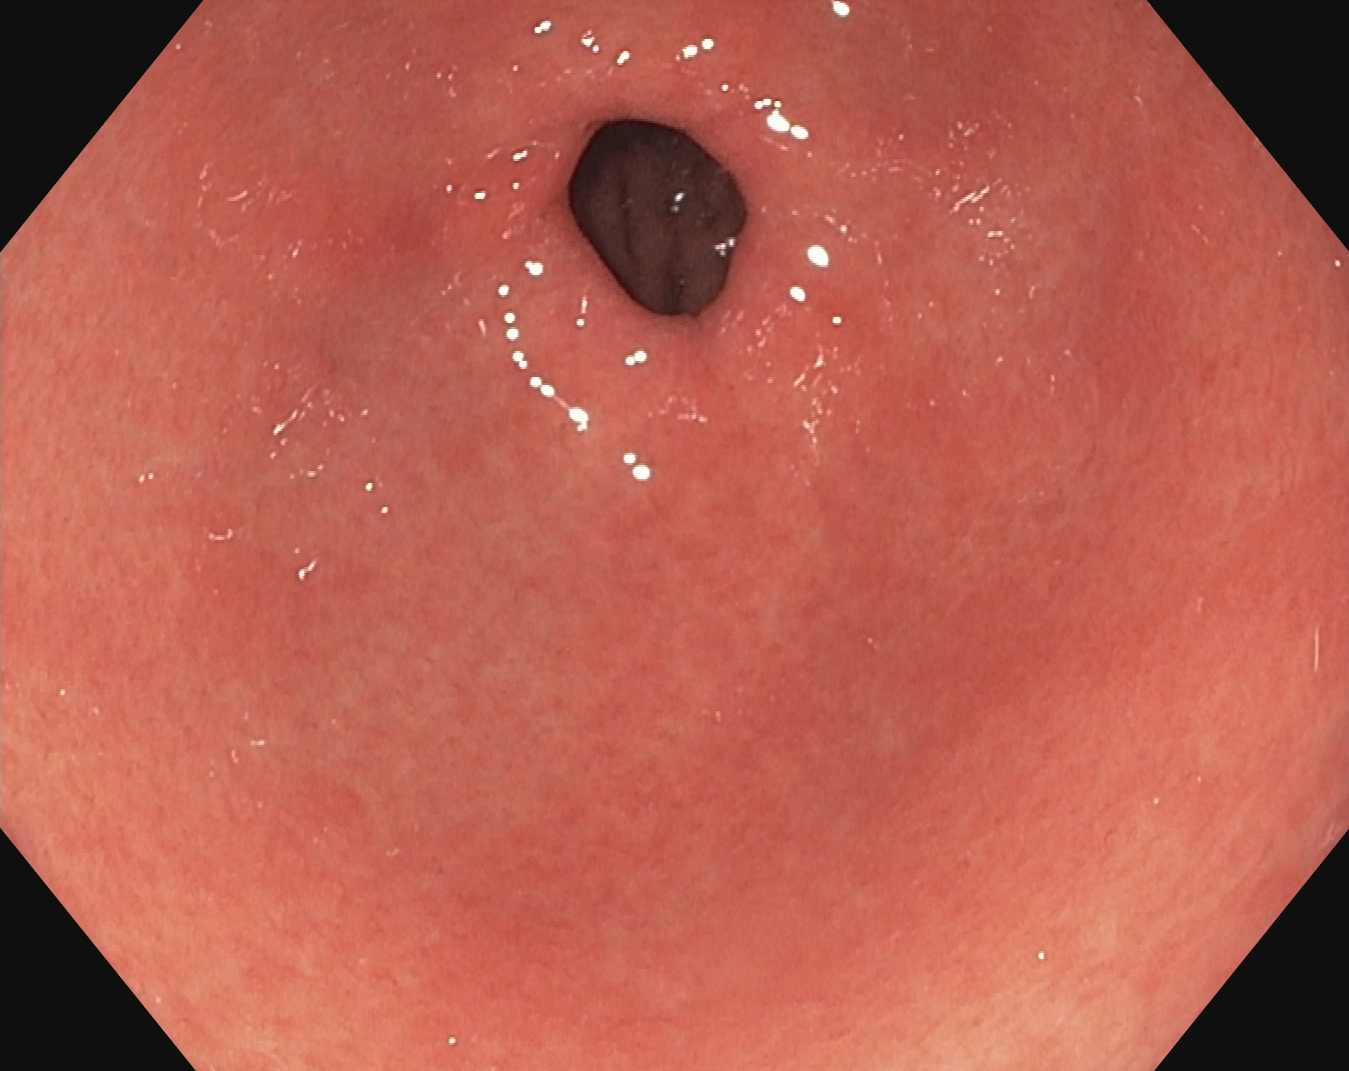PROCEDURE: Gastroscopy.
CATEGORY: Anatomical landmark.
FINDINGS: Pylorus.